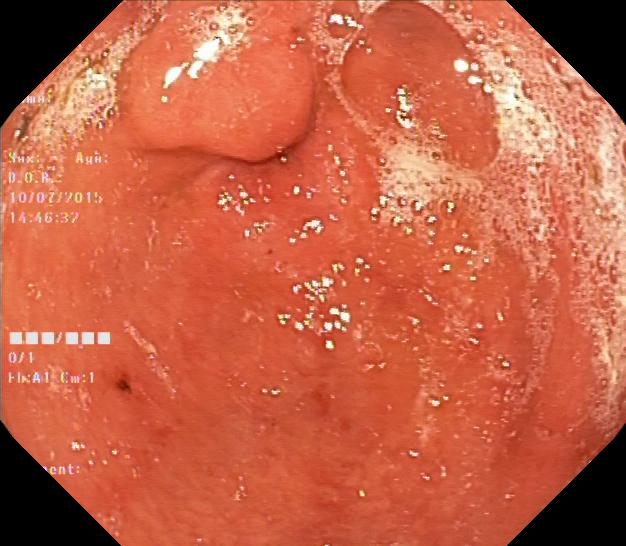Lower gastrointestinal endoscopy. Tract: lower GI tract. Finding: colorectal polyp(s).